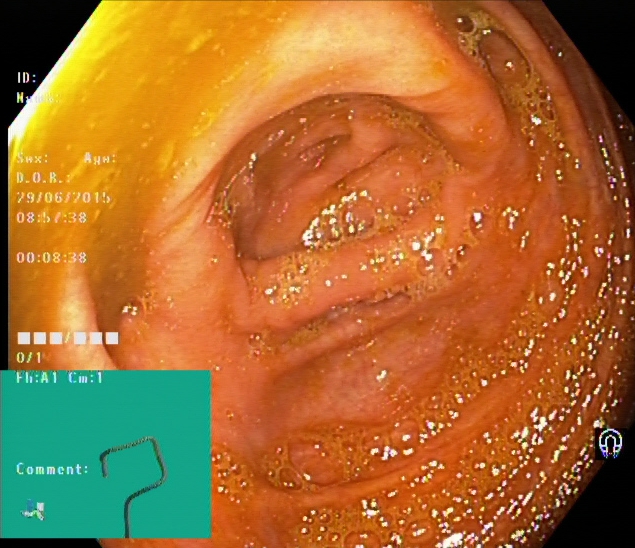Colonoscopy — cecum.